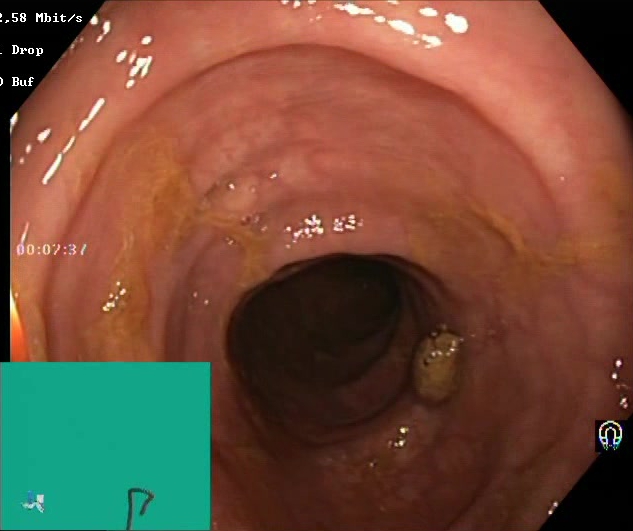{"modality": "lower gastrointestinal endoscopy", "tract": "lower GI tract", "category": "mucosal-view quality", "finding": "BBPS score 2\u20133 (adequate preparation)"}